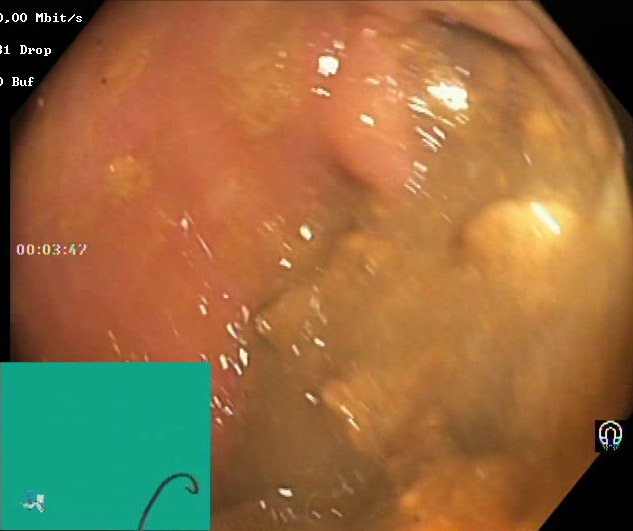GI endoscopy image showing BBPS score 0–1 (inadequate preparation).